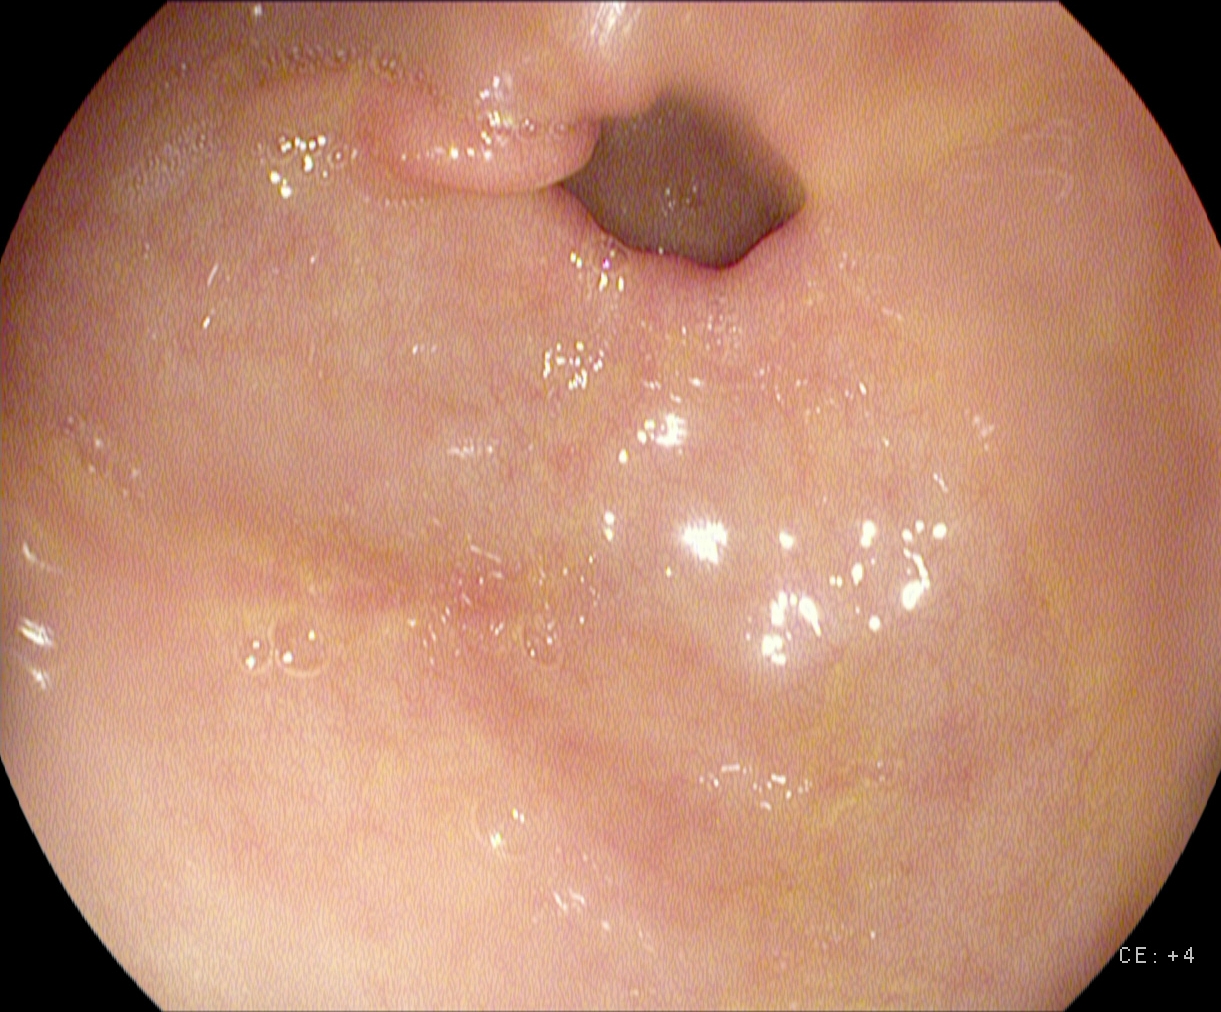{"modality": "gastroscopy", "finding": "pylorus"}